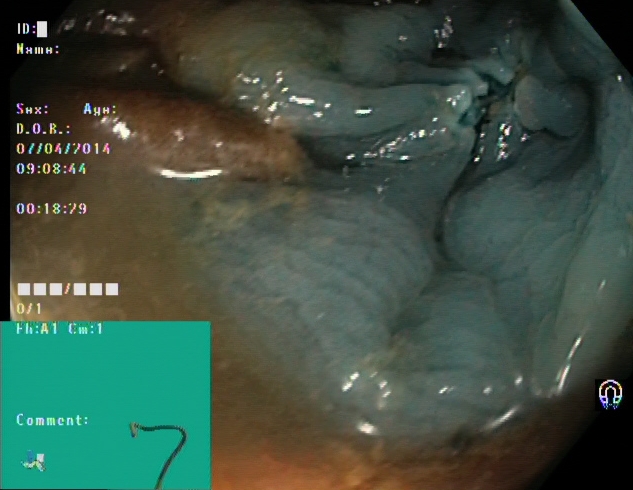Dyed resection margins (post-polypectomy).